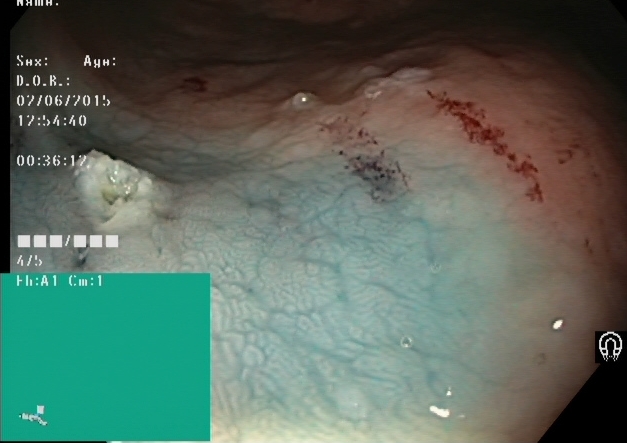Lower gastrointestinal endoscopy — dyed resection margins (post-polypectomy).